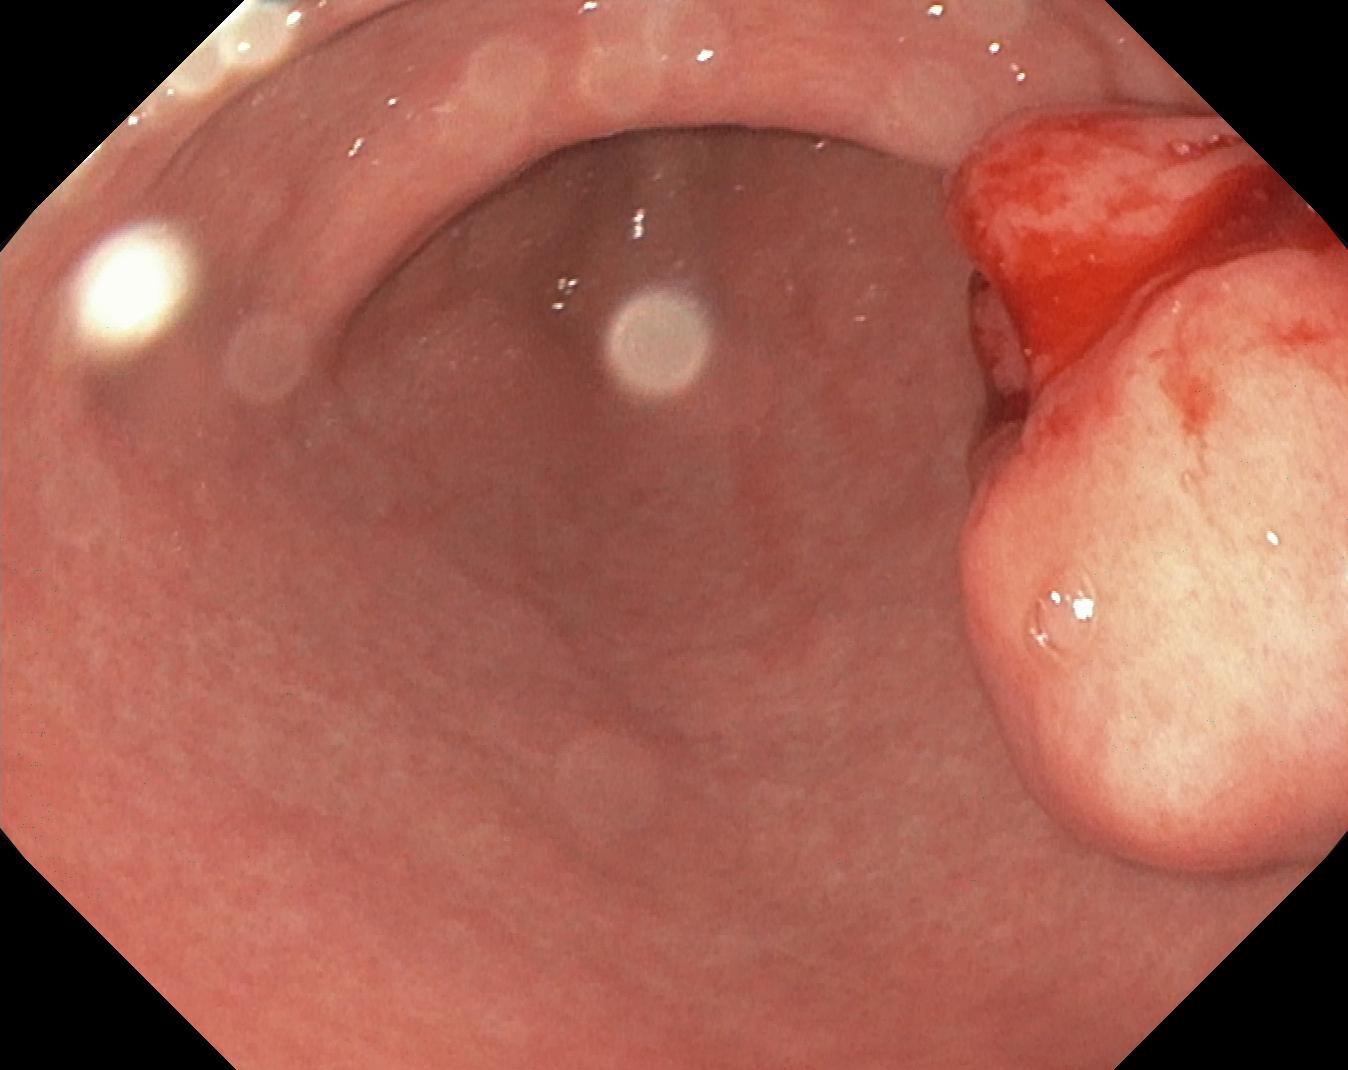PROCEDURE: Lower gastrointestinal endoscopy.
FINDINGS: Colorectal polyp(s).